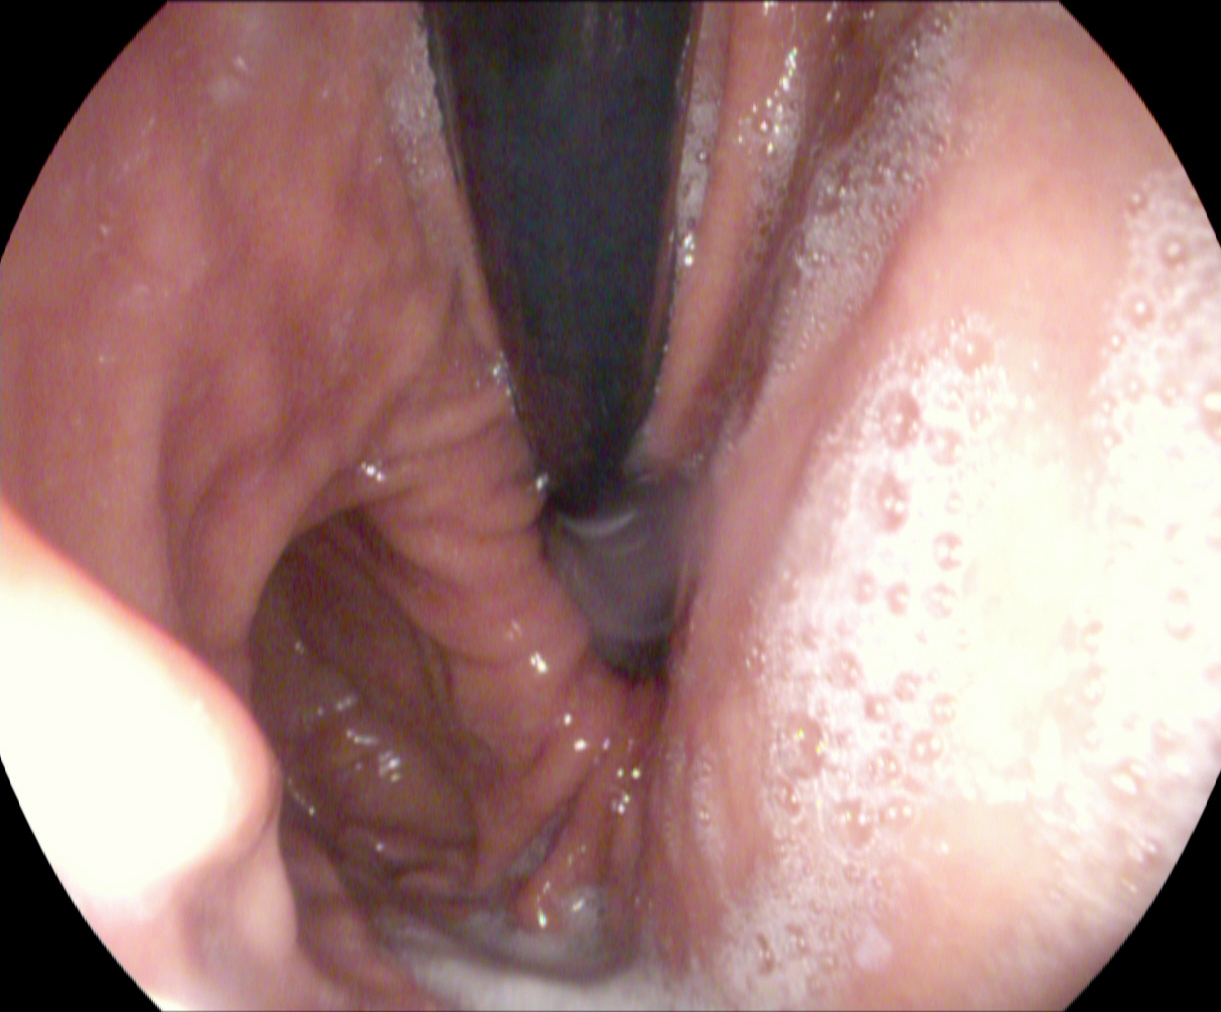modality: esophagogastroduodenoscopy | finding: stomach in retroflexion